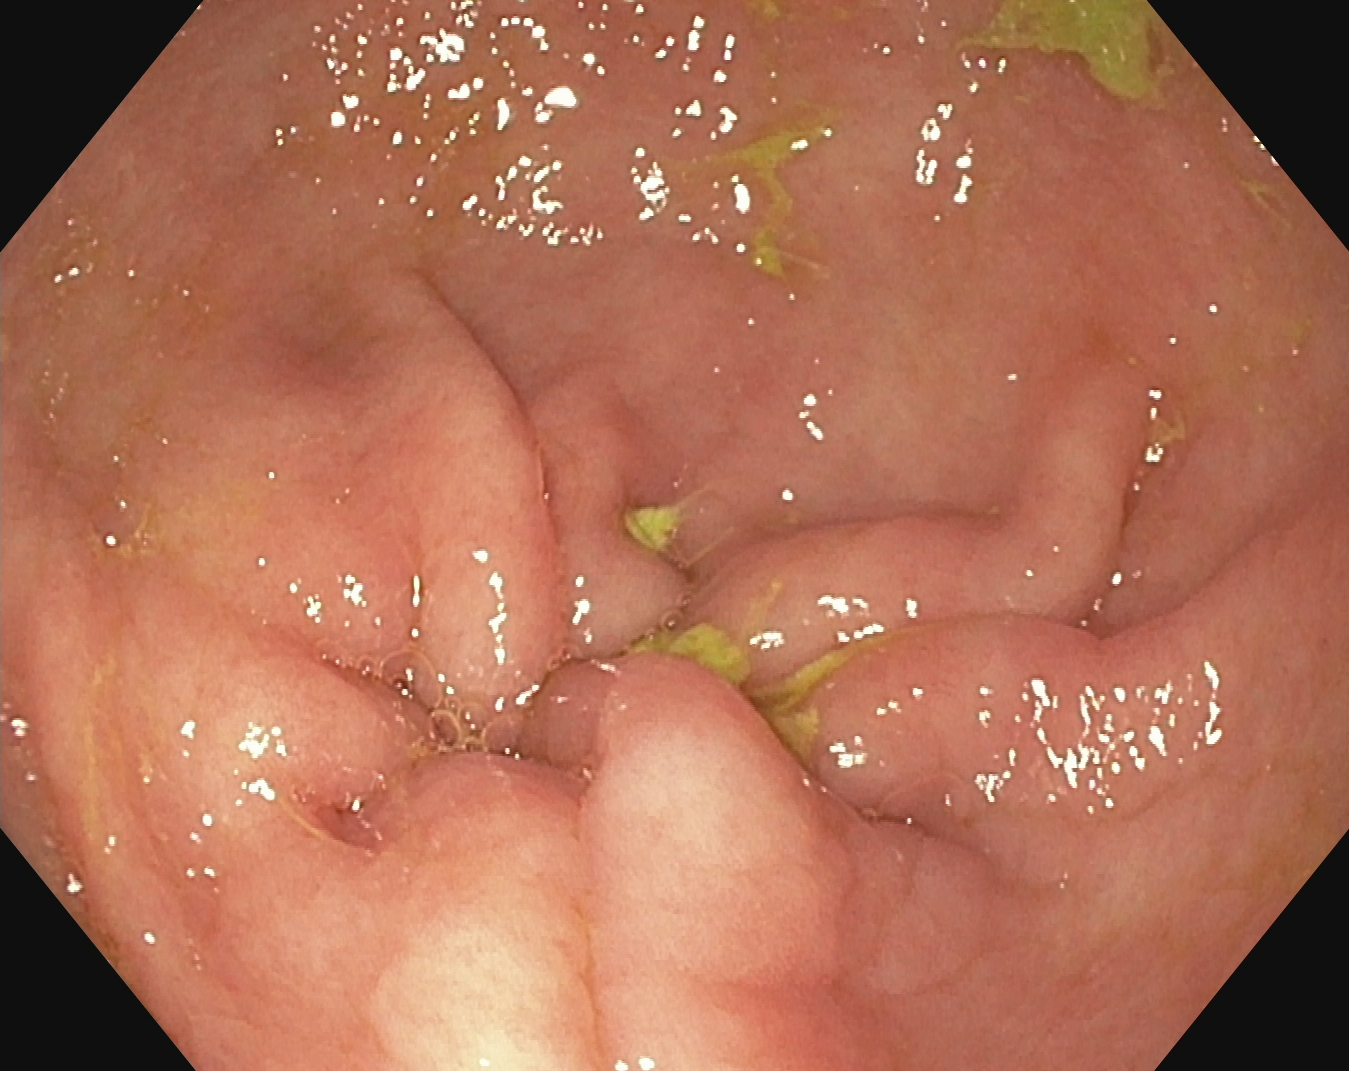modality: upper-GI endoscopy
tract: upper GI tract
finding: pylorus